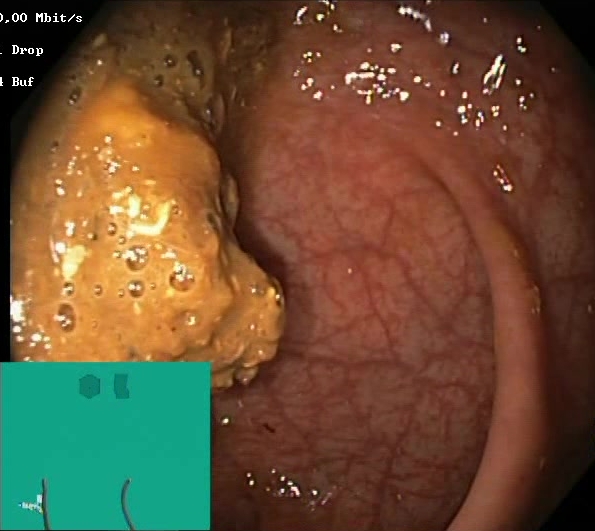Boston Bowel Preparation Scale score 0–1 (inadequate preparation).